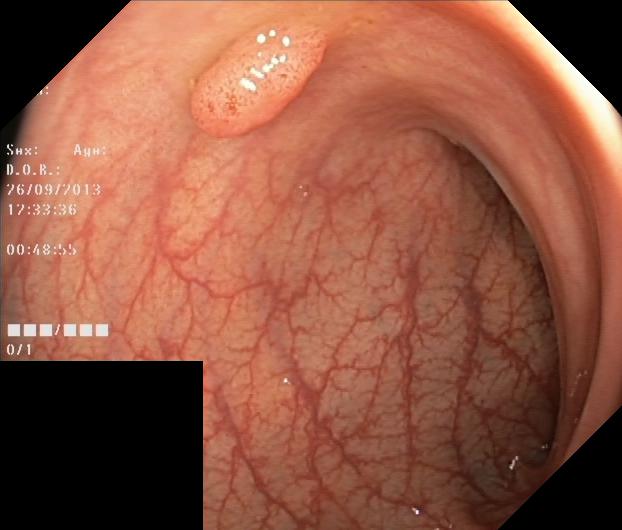modality: lower-GI endoscopy
tract: lower GI tract
category: pathological finding
finding: colorectal polyp(s)